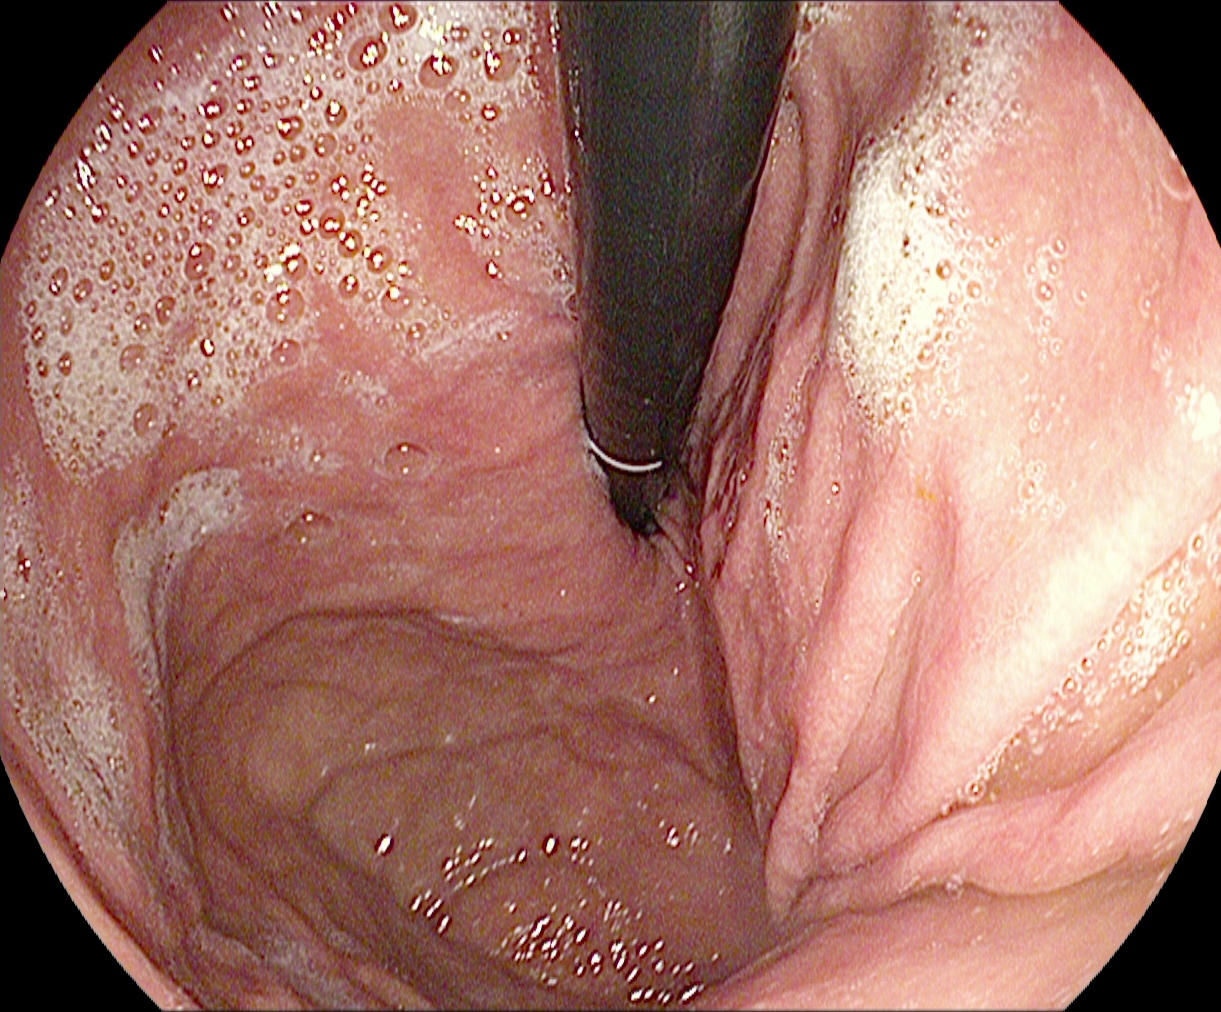This endoscopic image of the upper GI tract shows stomach in retroflexion.